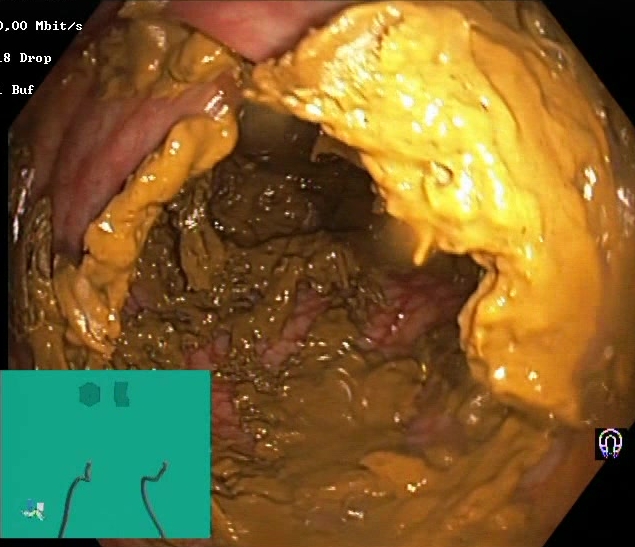BBPS score 0–1 (inadequate preparation).